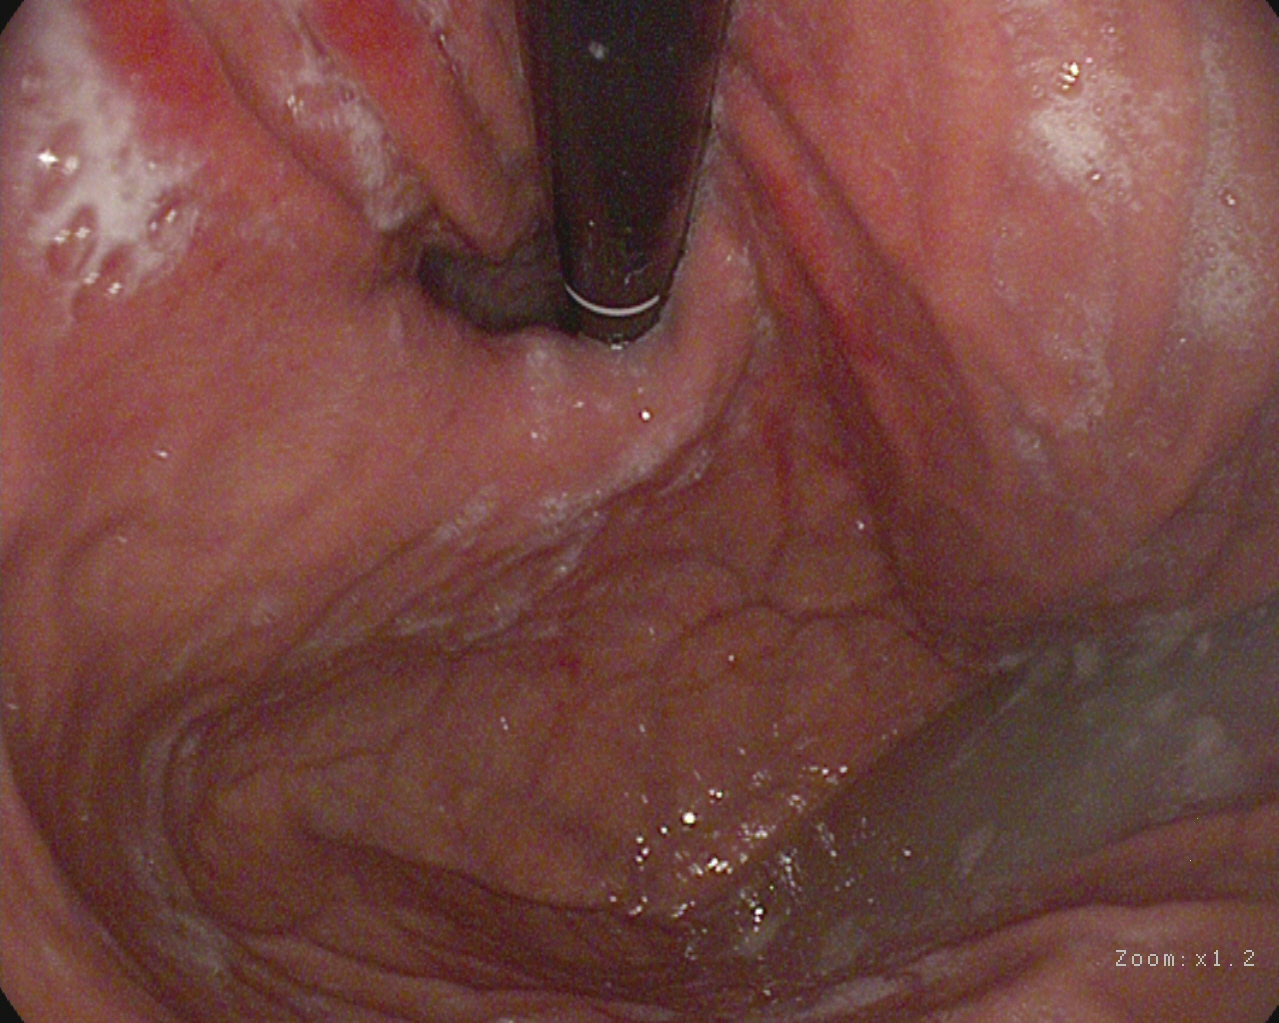Gastroscopy. Finding: stomach in retroflexion.